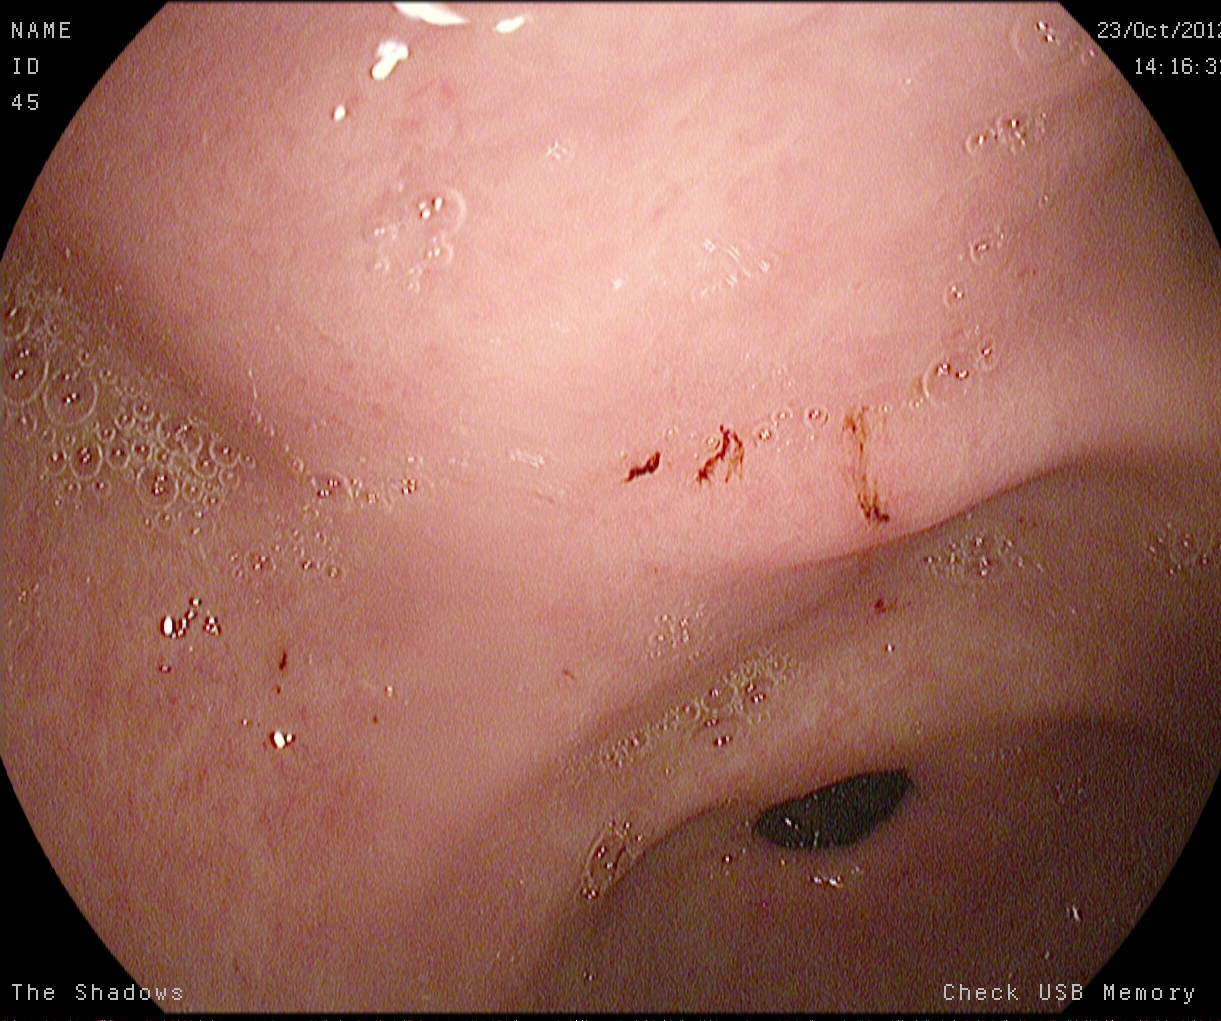{"modality": "upper-GI endoscopy", "tract": "upper GI tract", "category": "anatomical landmark", "finding": "pylorus"}